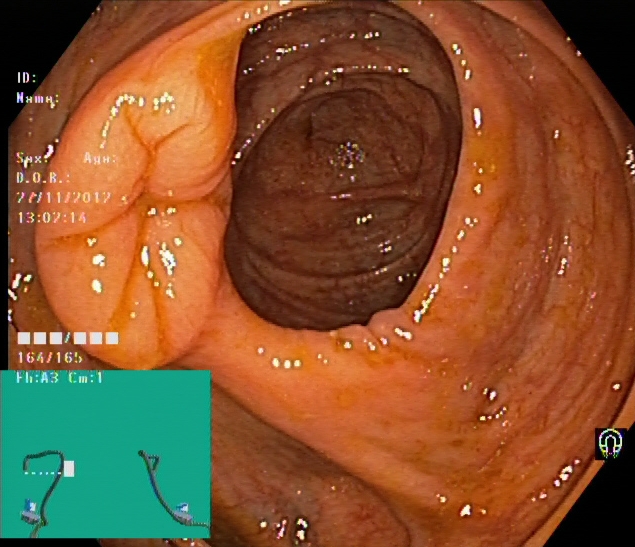Colonoscopy. Tract: lower GI tract. Finding: cecum.